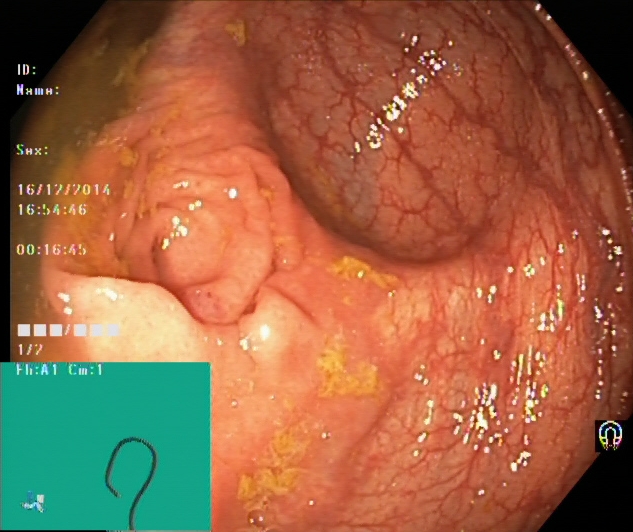This endoscopic image shows cecum.